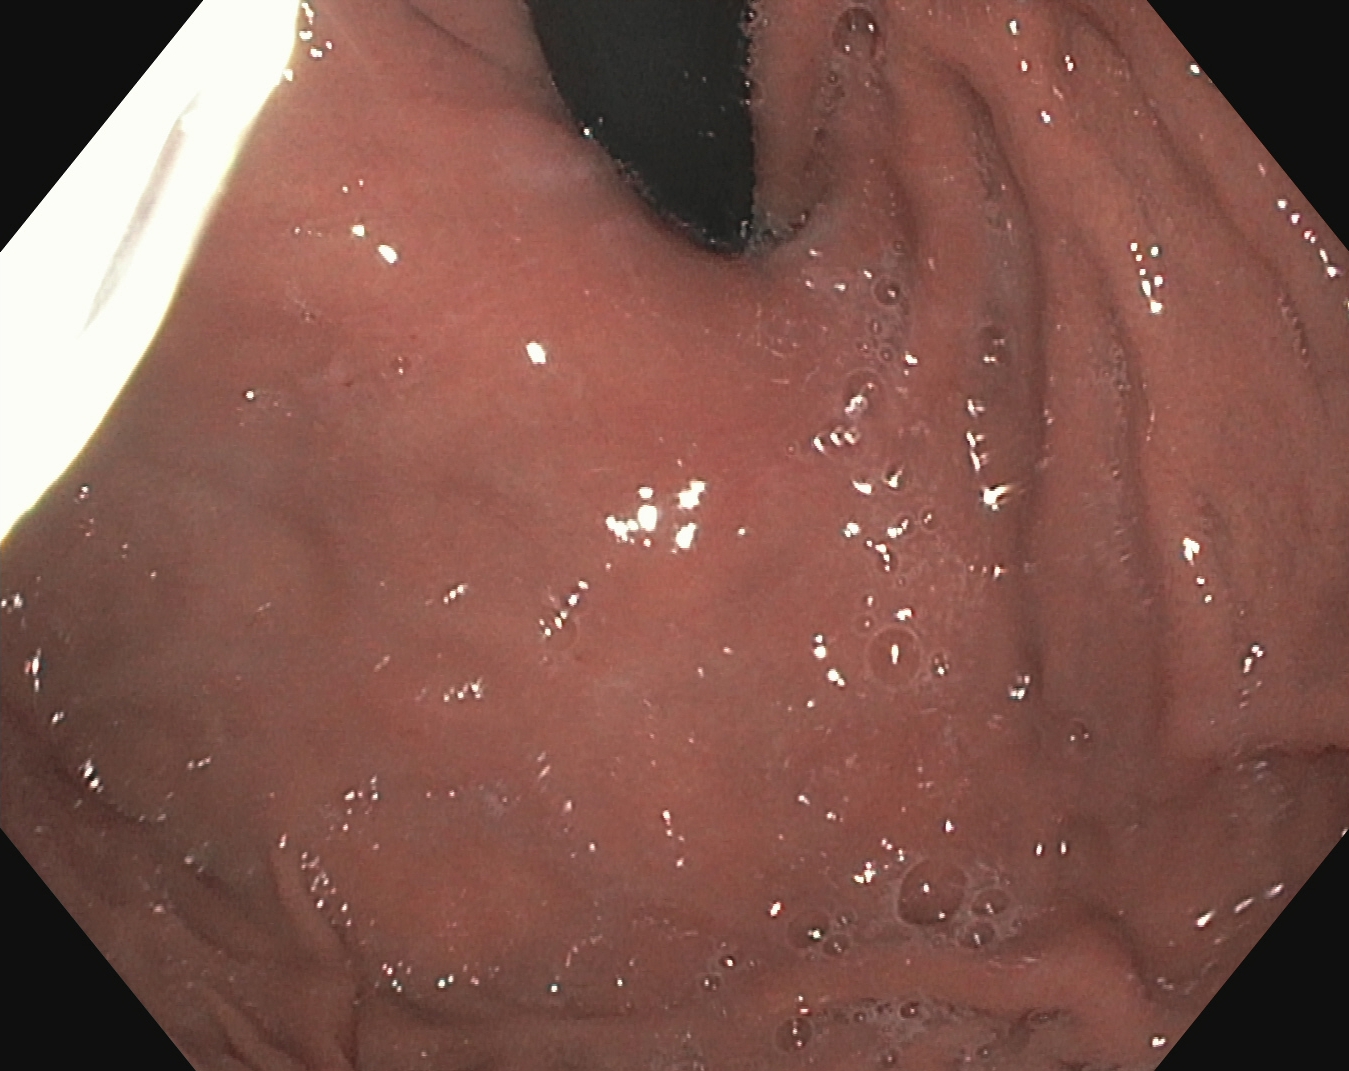stomach in retroflexion.